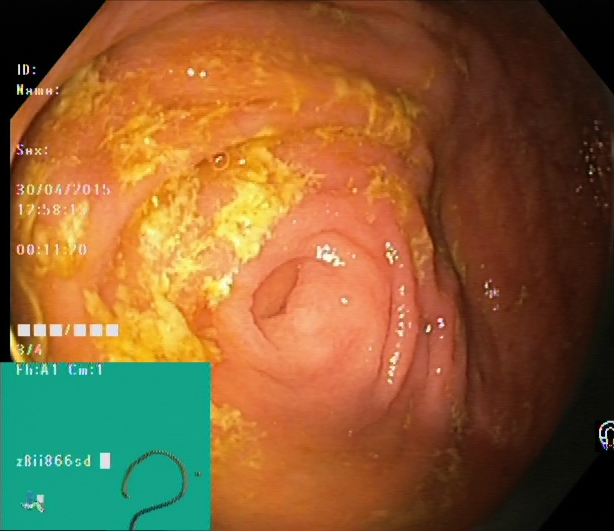PROCEDURE: Colonoscopy.
FINDINGS: Cecum.